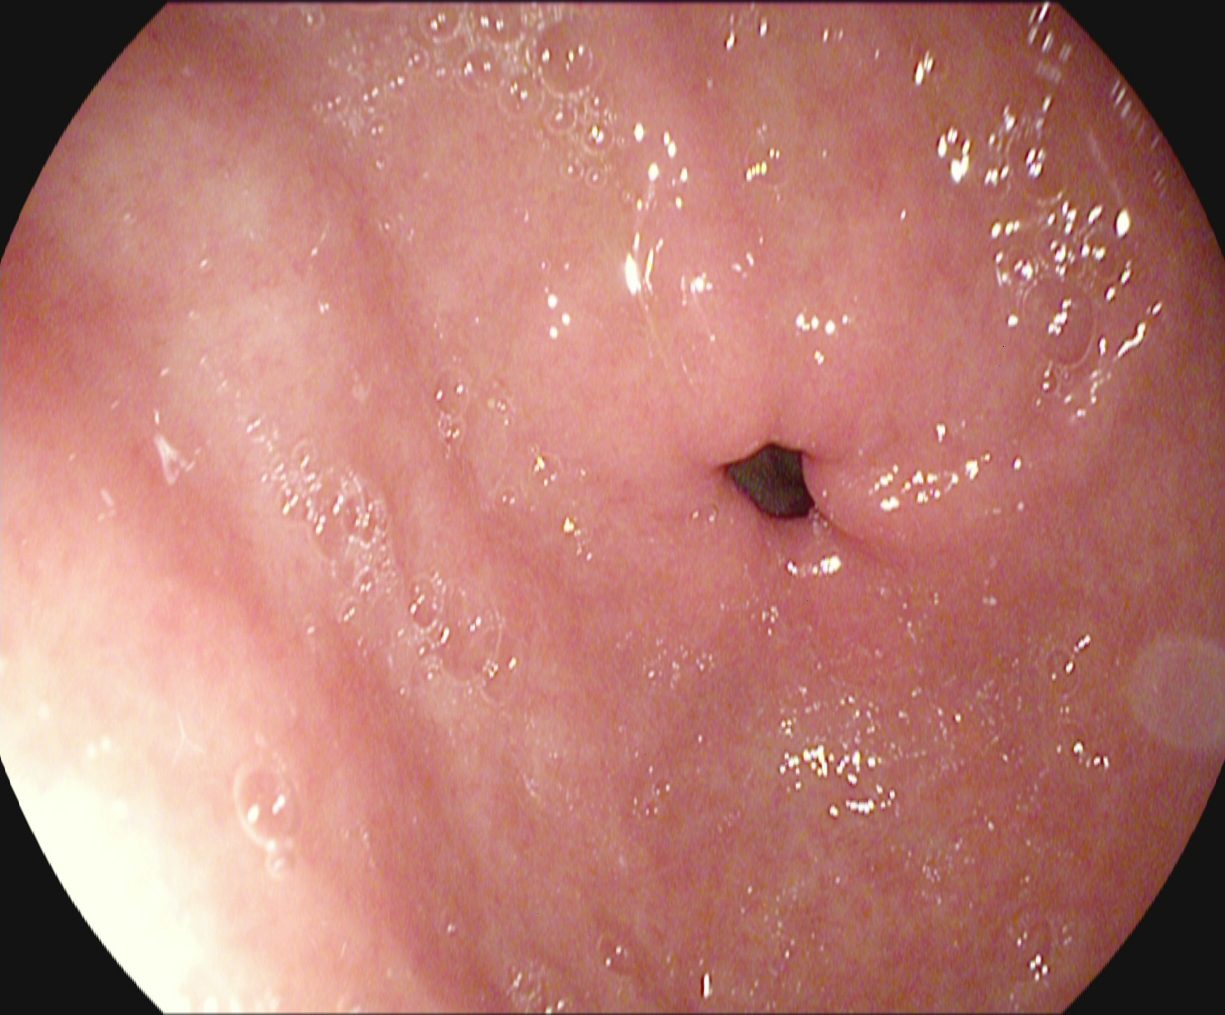Endoscopic image of the upper GI tract showing pylorus.